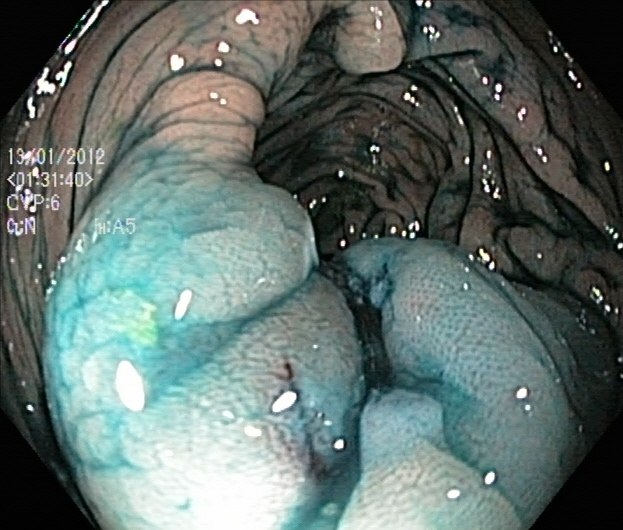{"modality": "lower-GI endoscopy", "tract": "lower GI tract", "category": "therapeutic intervention", "finding": "dyed resection margins (post-polypectomy)"}